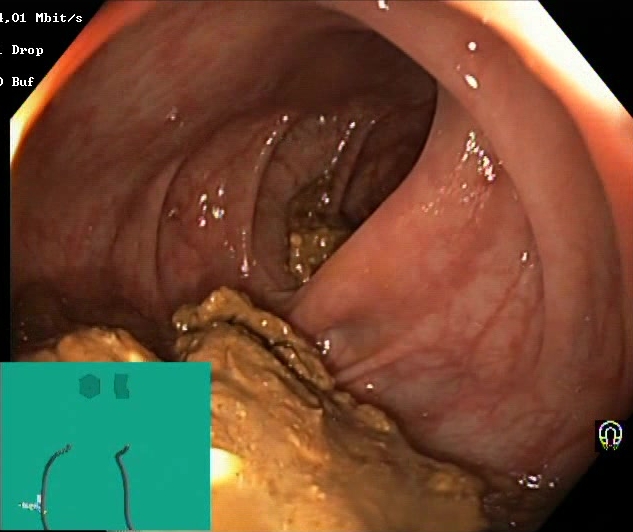modality: colonoscopy
finding: Boston Bowel Preparation Scale score 0–1 (inadequate preparation)